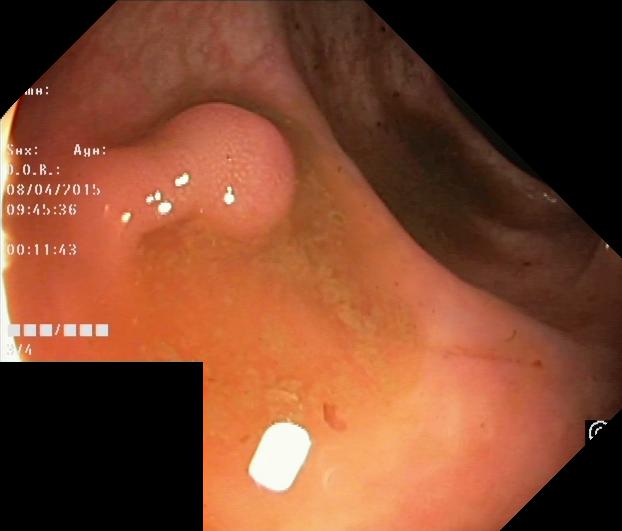PROCEDURE: Lower gastrointestinal endoscopy.
CATEGORY: Pathological finding.
FINDINGS: Colorectal polyp(s).